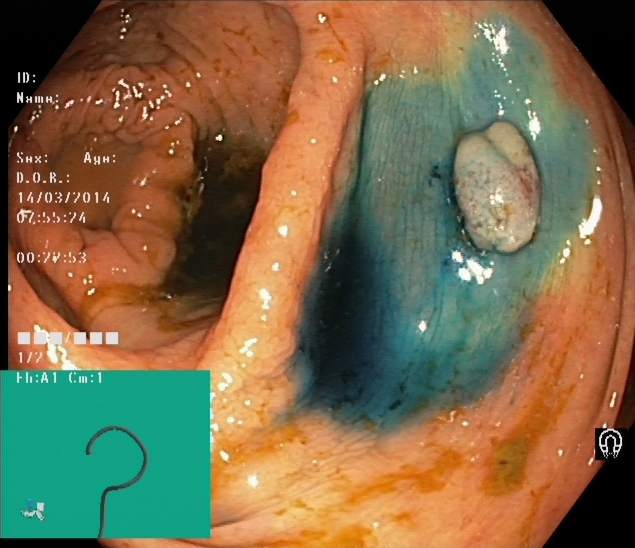PROCEDURE: Lower-GI endoscopy.
FINDINGS: Dyed and lifted polyp (pre-resection).